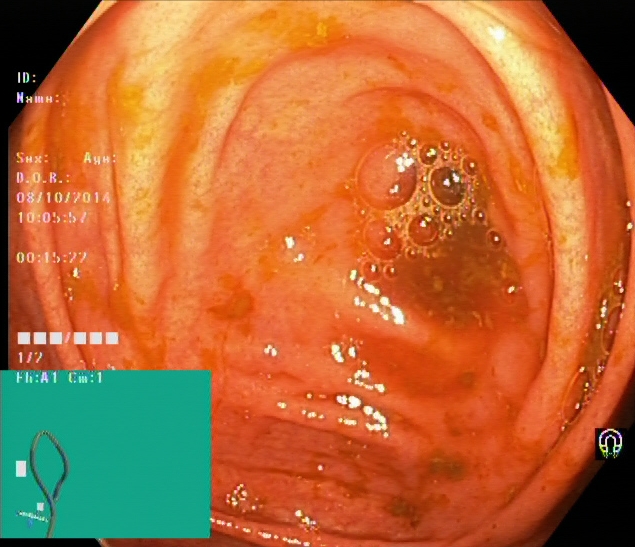Cecum.